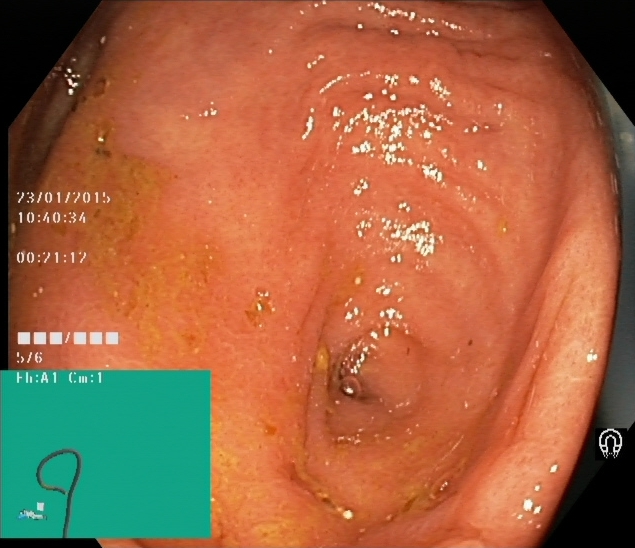Lower gastrointestinal endoscopy. Finding: cecum.